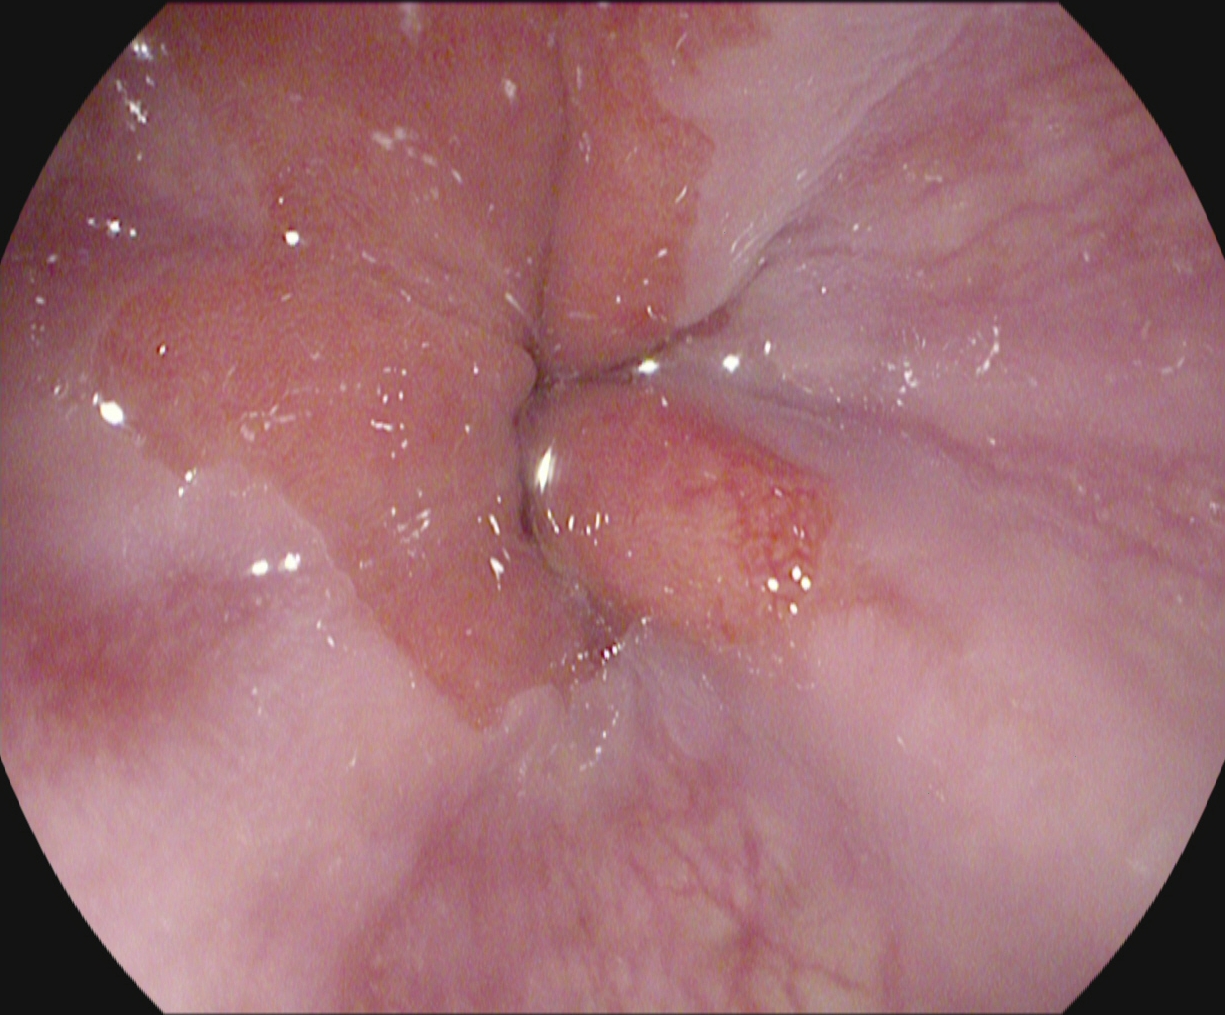PROCEDURE: Upper-GI endoscopy.
CATEGORY: Anatomical landmark.
FINDINGS: Z-line (gastroesophageal junction).